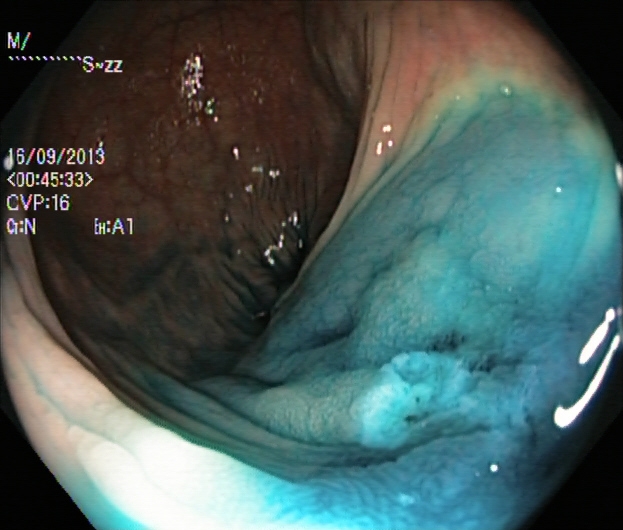modality: colonoscopy
tract: lower GI tract
category: therapeutic intervention
finding: dyed and lifted polyp (pre-resection)